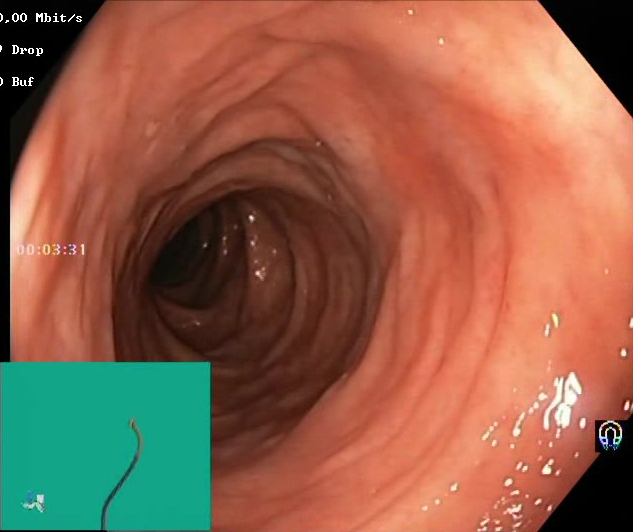PROCEDURE: Colonoscopy.
FINDINGS: Boston Bowel Preparation Scale score 2–3 (adequate preparation).